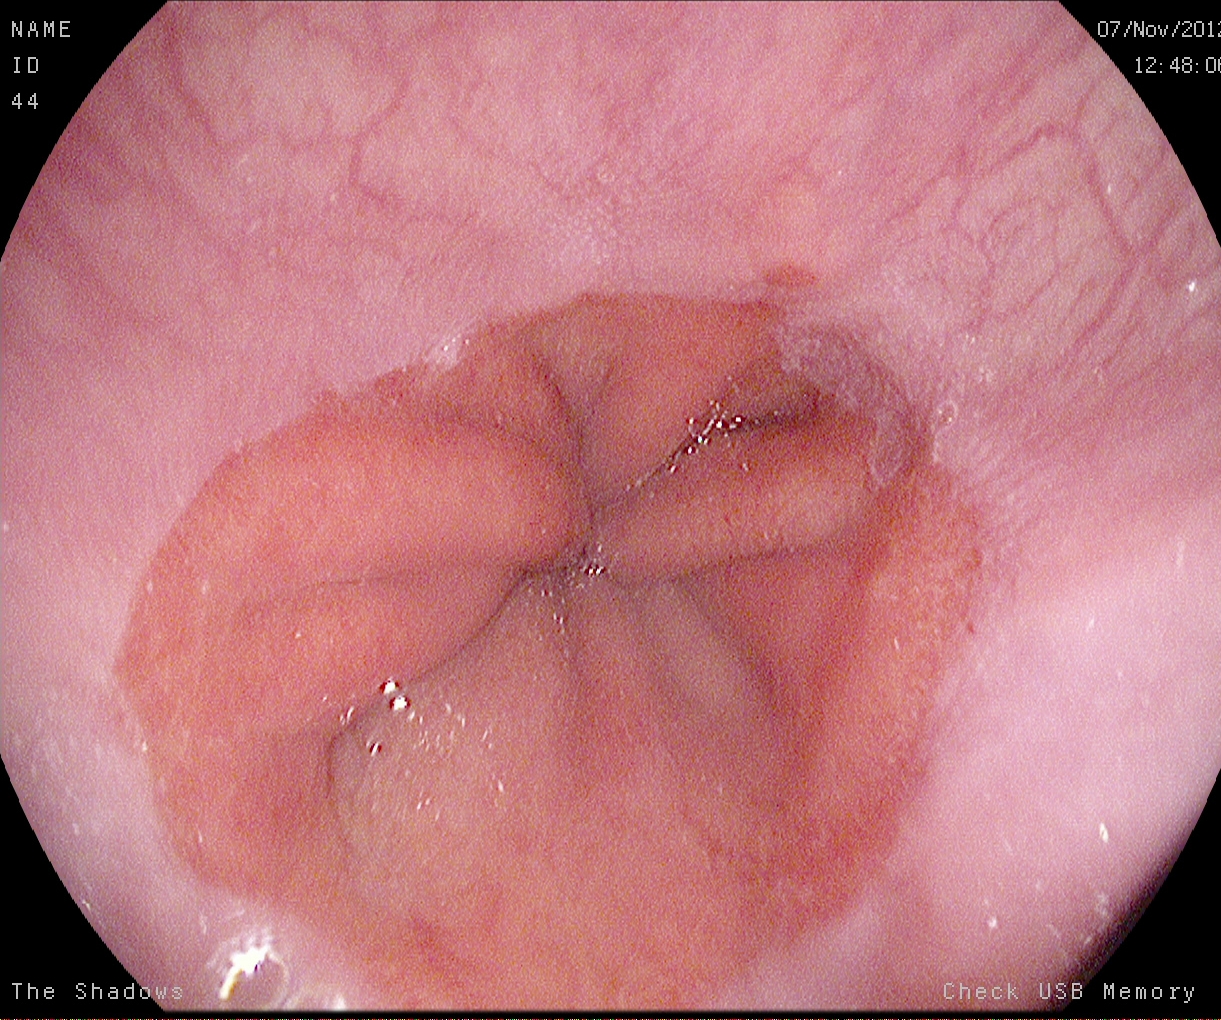Esophagogastroduodenoscopy. Finding: Z-line (gastroesophageal junction).